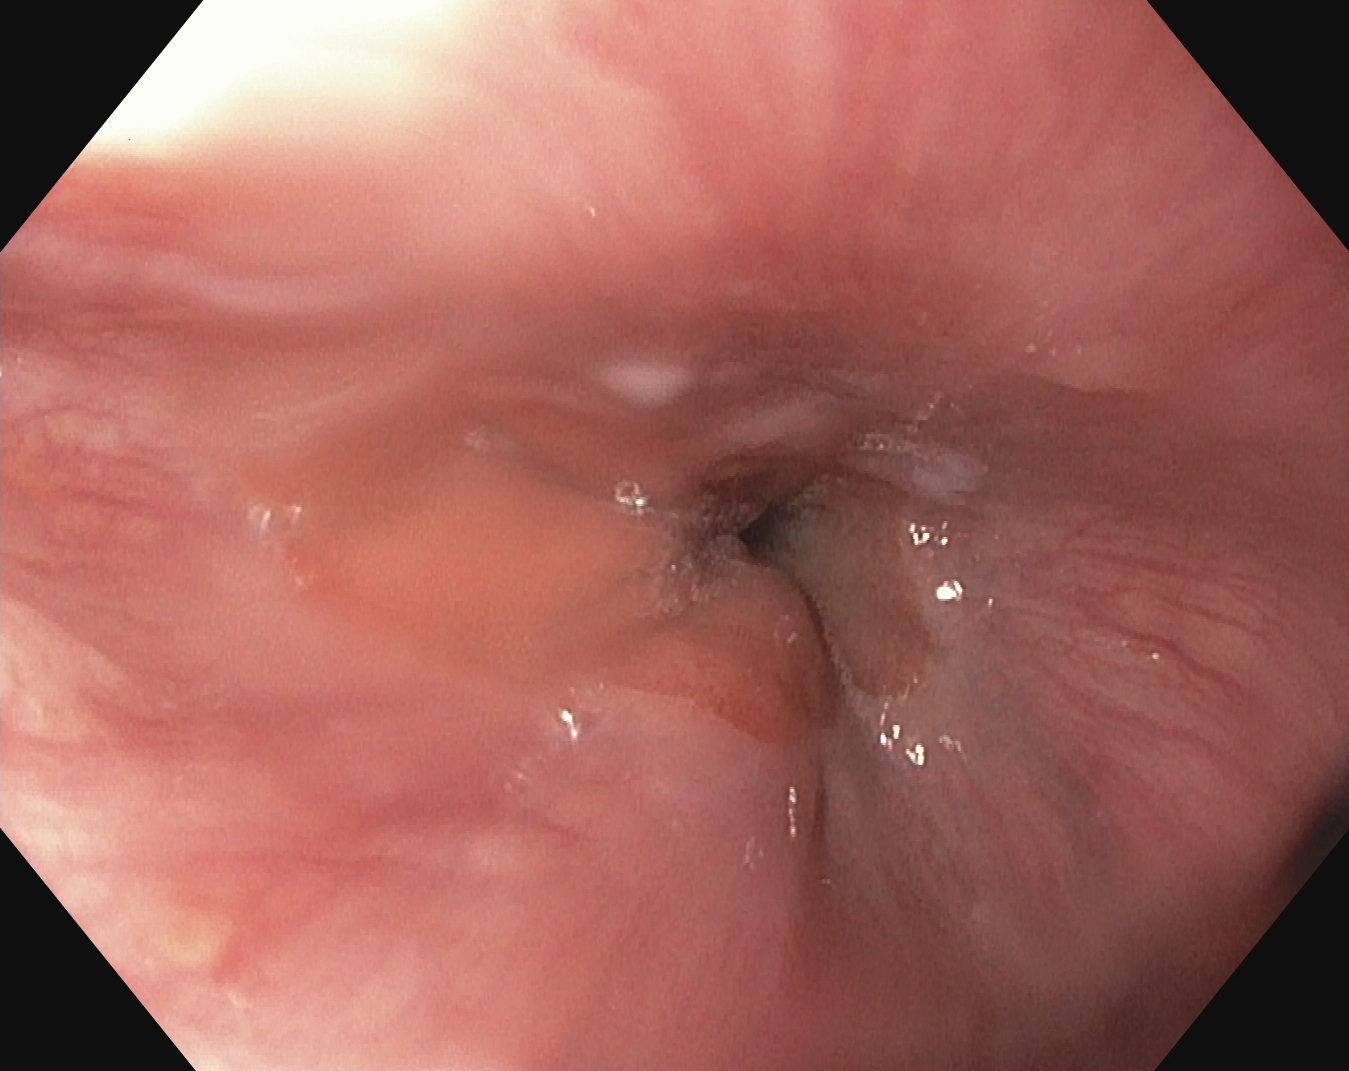Endoscopic image showing Z-line (gastroesophageal junction).